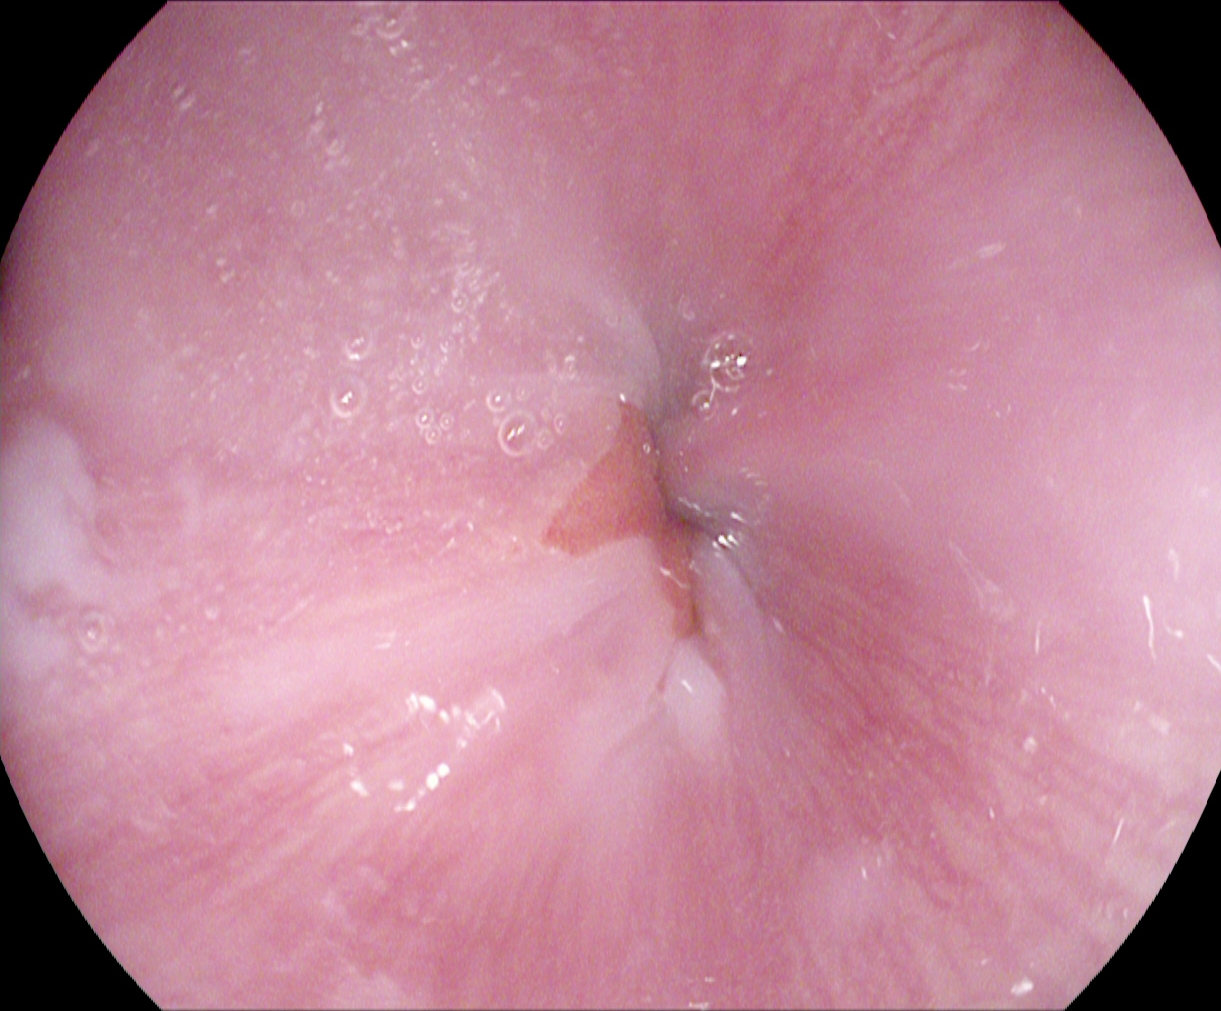EGD. Anatomical landmark. Finding: Z-line (gastroesophageal junction).